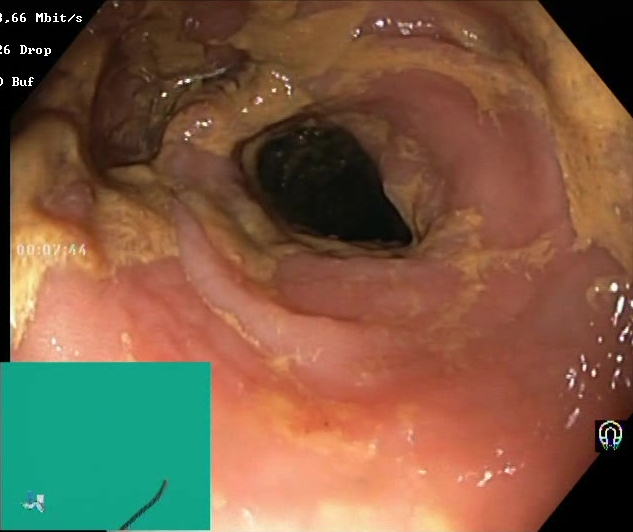PROCEDURE: Lower gastrointestinal endoscopy.
CATEGORY: Mucosal-view quality.
FINDINGS: Boston Bowel Preparation Scale score 0–1 (inadequate preparation).